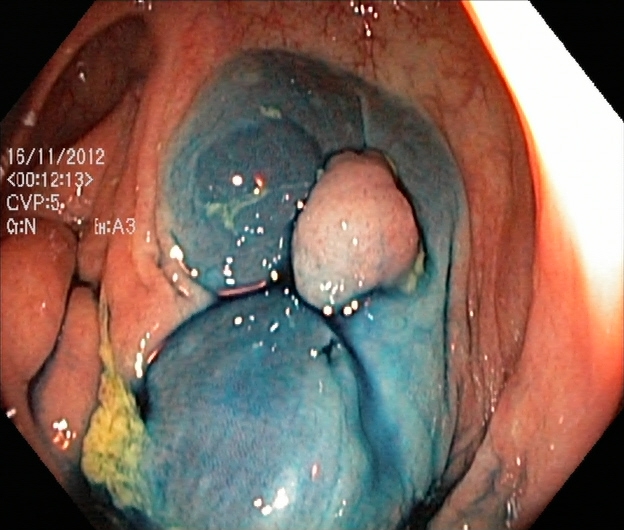modality: lower-GI endoscopy | tract: lower GI tract | category: therapeutic intervention | finding: dyed and lifted polyp (pre-resection)